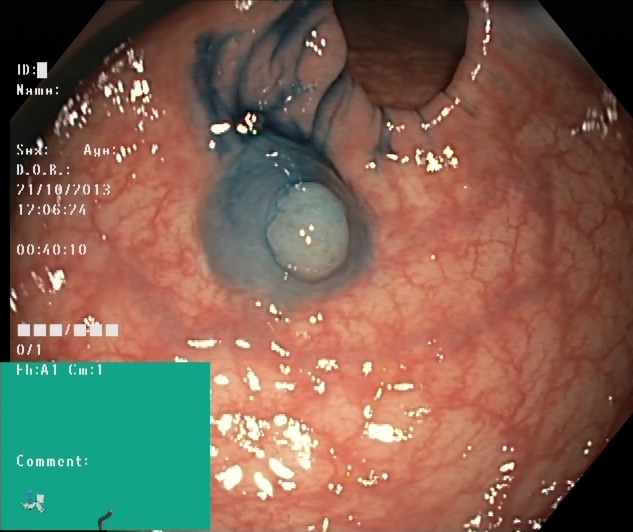Lower-GI endoscopy. Tract: lower GI tract. Finding: dyed and lifted polyp (pre-resection).